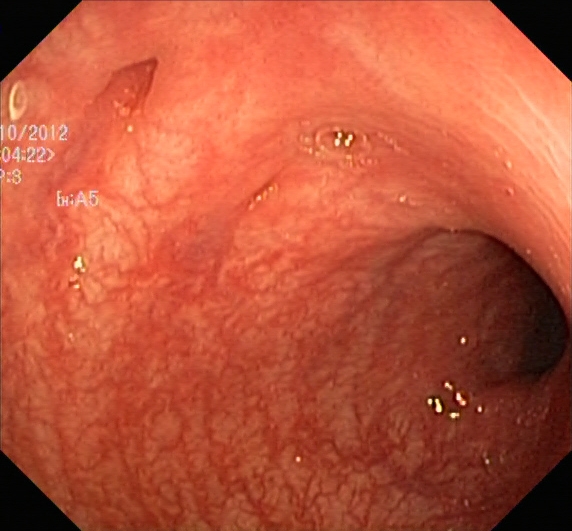PROCEDURE: Lower-GI endoscopy.
FINDINGS: Ulcerative colitis, Mayo endoscopic subscore 0–1.